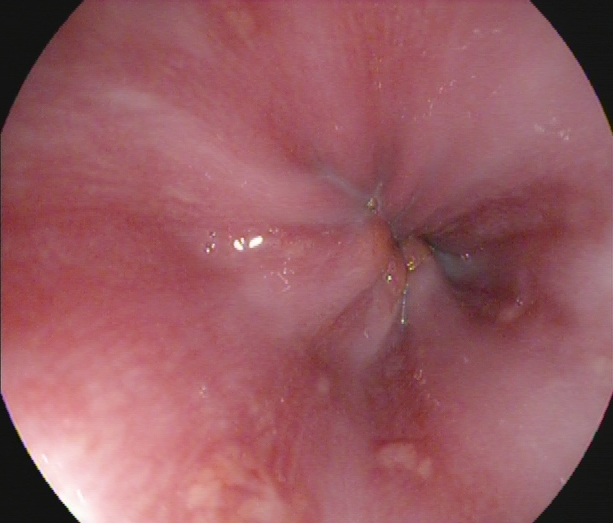Esophagogastroduodenoscopy — Z-line (gastroesophageal junction).